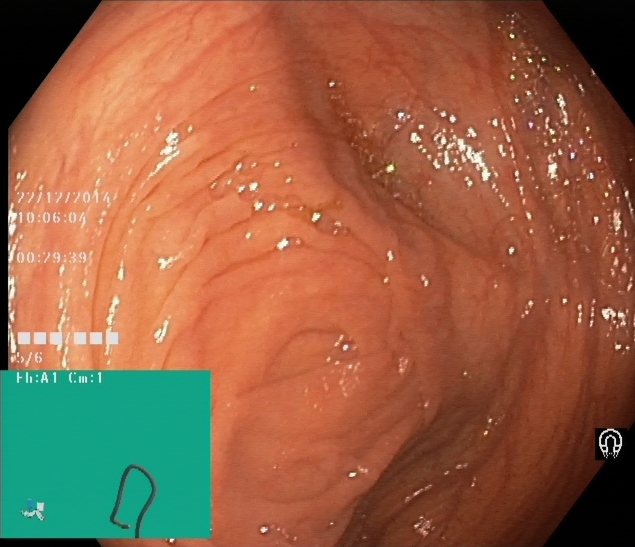Cecum.